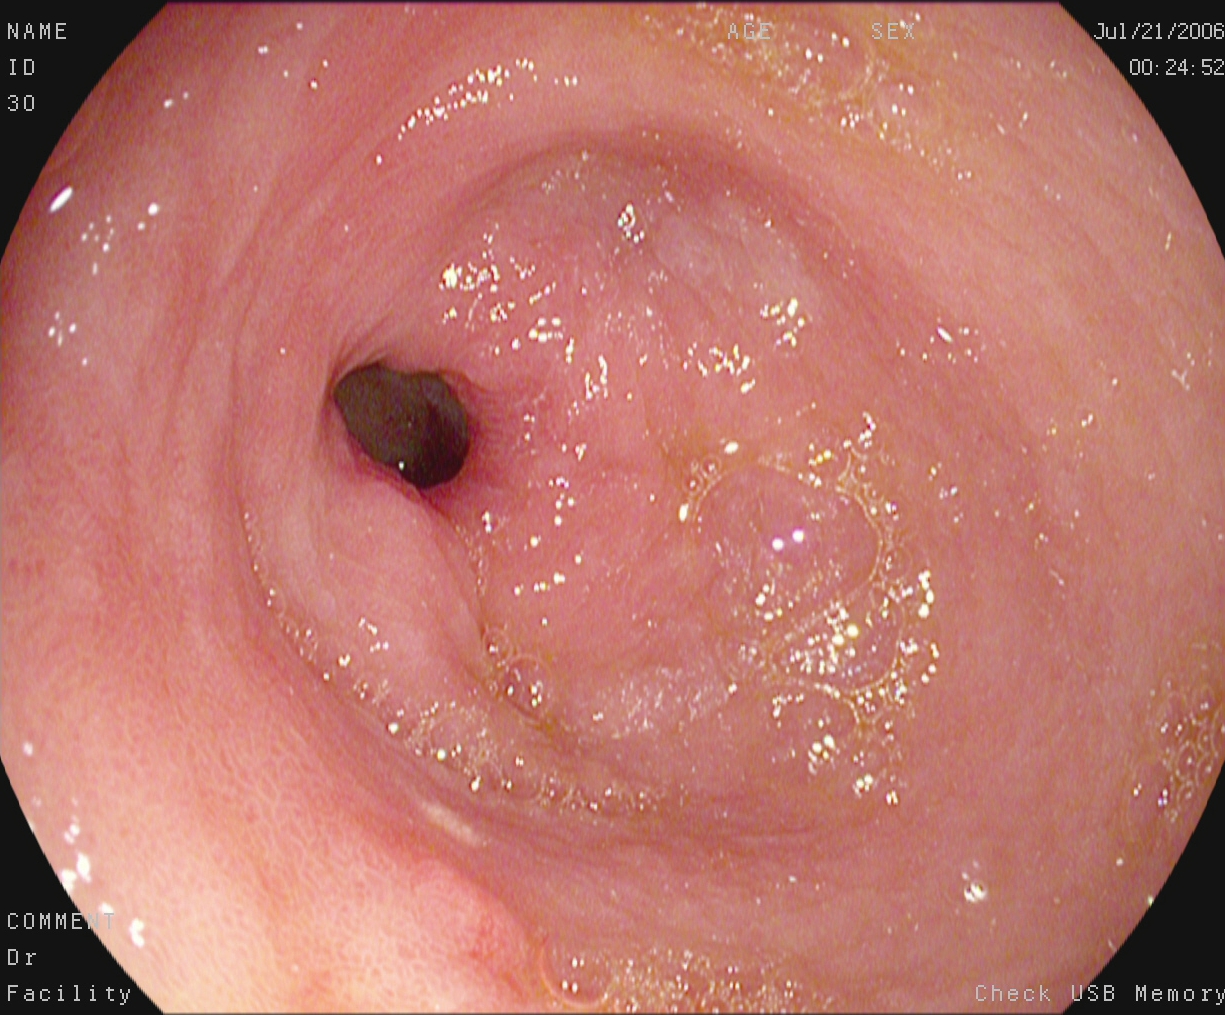This endoscopy frame shows pylorus.